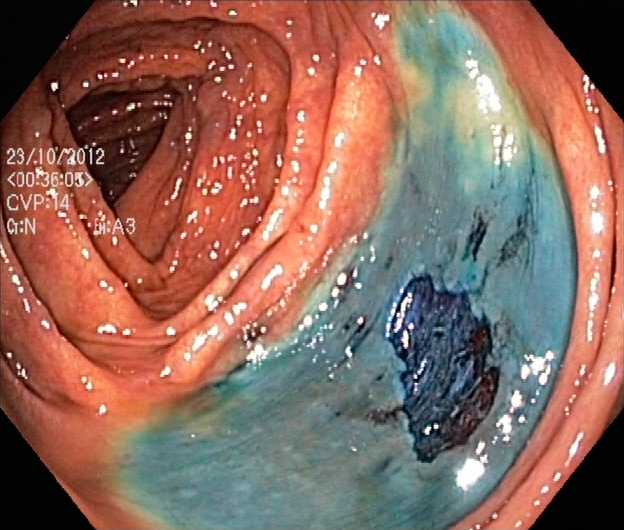This endoscopic image of the lower GI tract shows dyed resection margins (post-polypectomy).